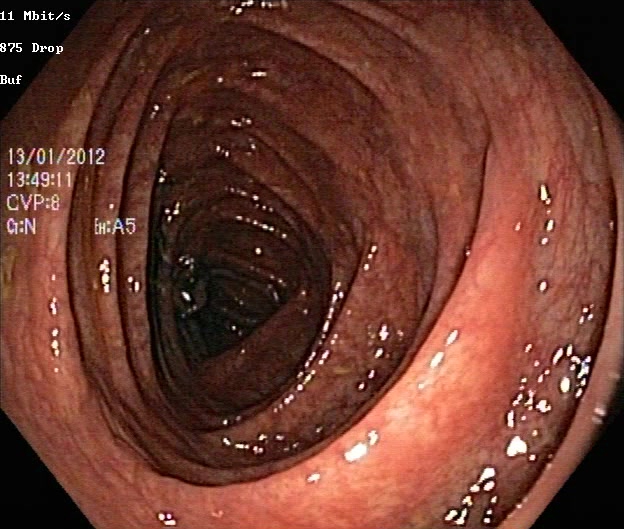UC, Mayo endoscopic subscore 0–1.